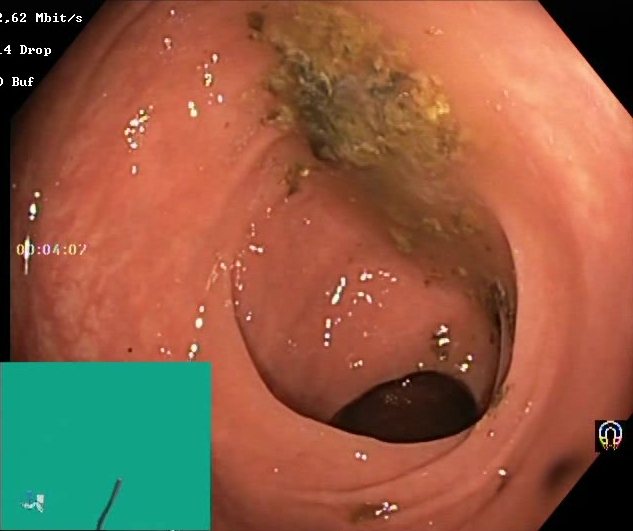Boston Bowel Preparation Scale score 0–1 (inadequate preparation).